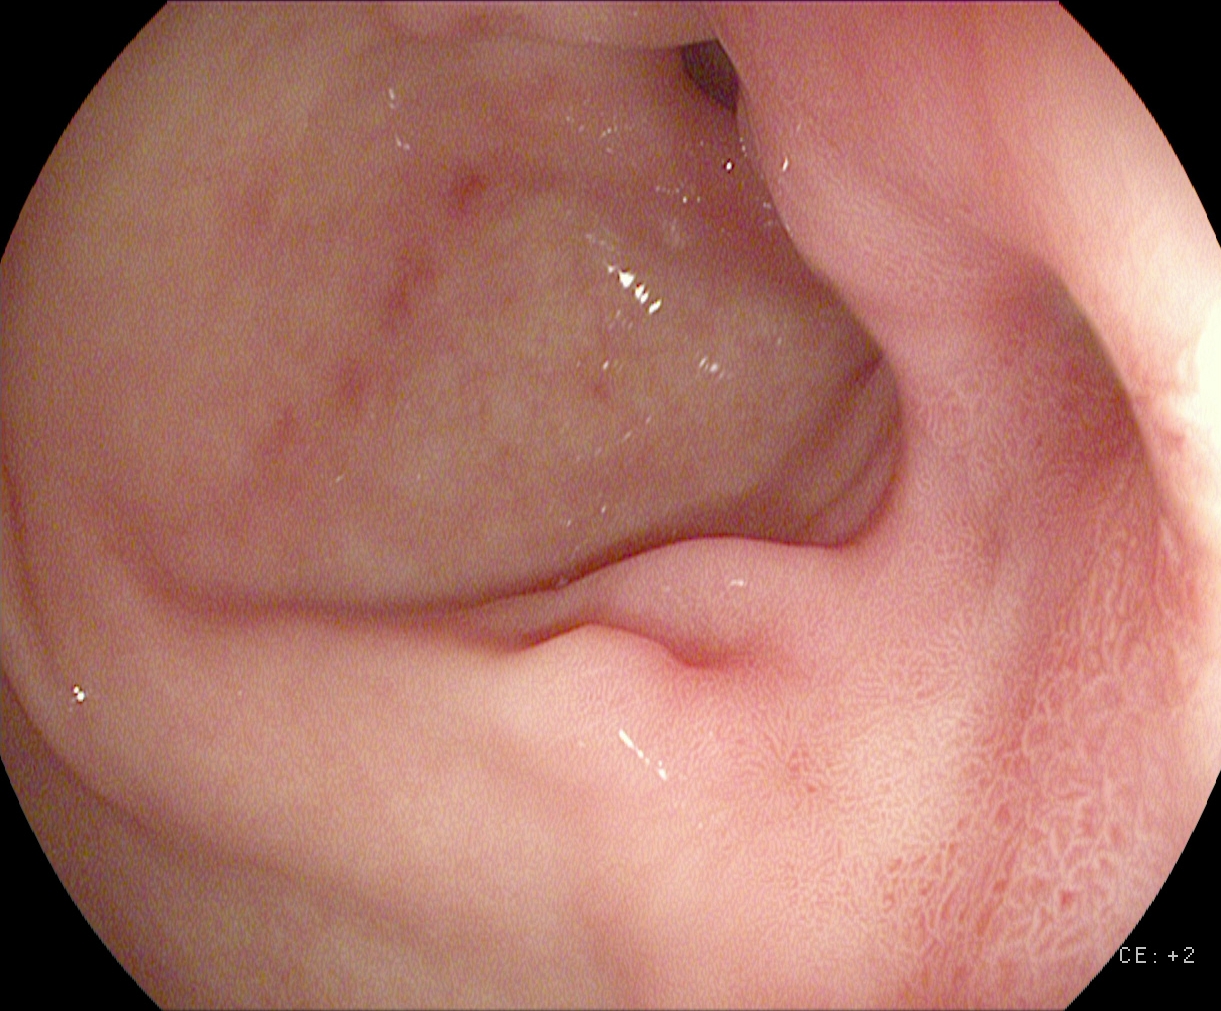Endoscopy image of the upper GI tract showing pylorus.